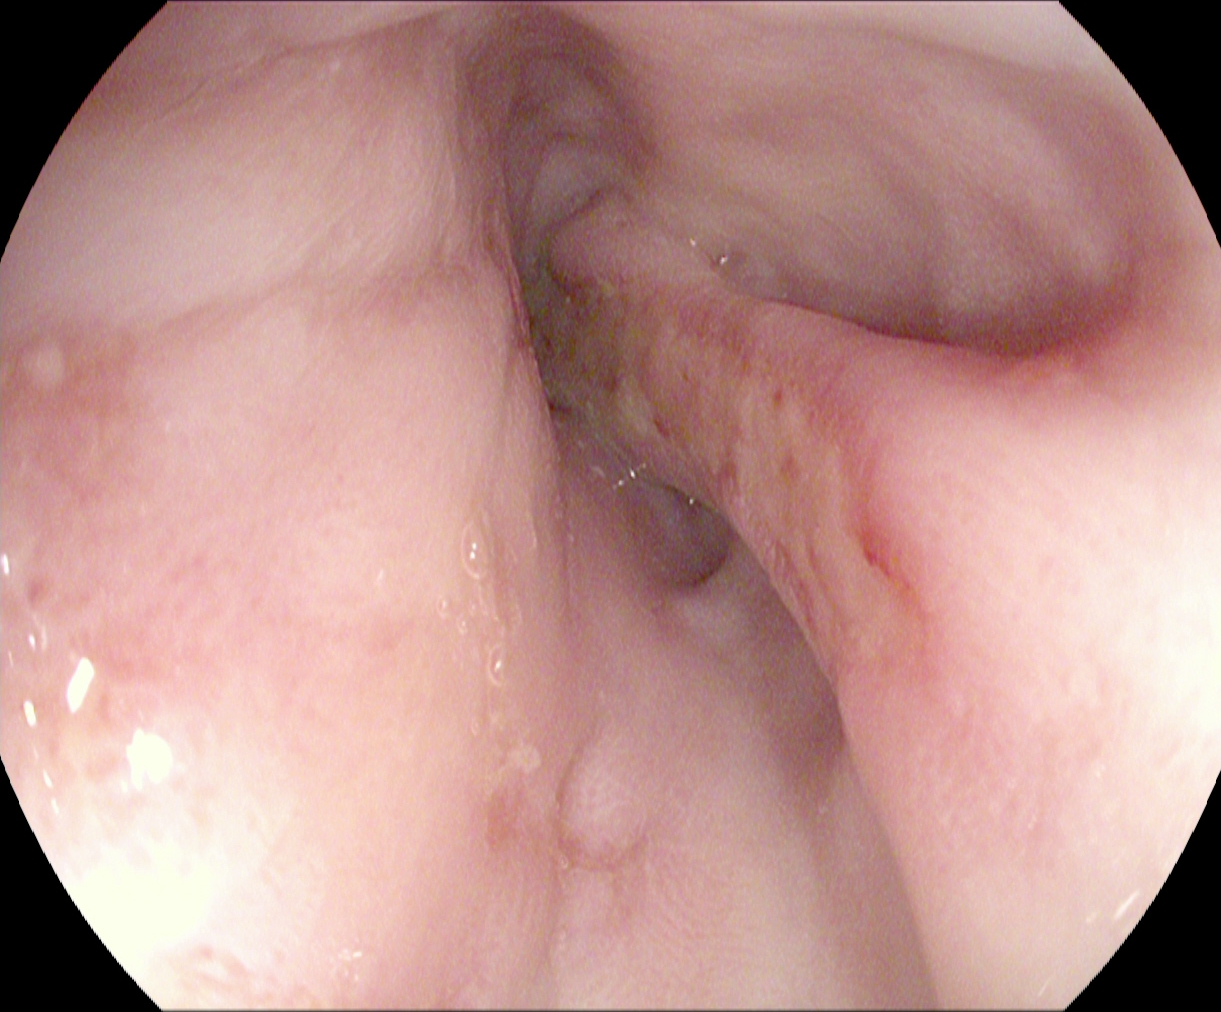Esophagogastroduodenoscopy. Finding: reflux esophagitis, Los Angeles grade B–D.